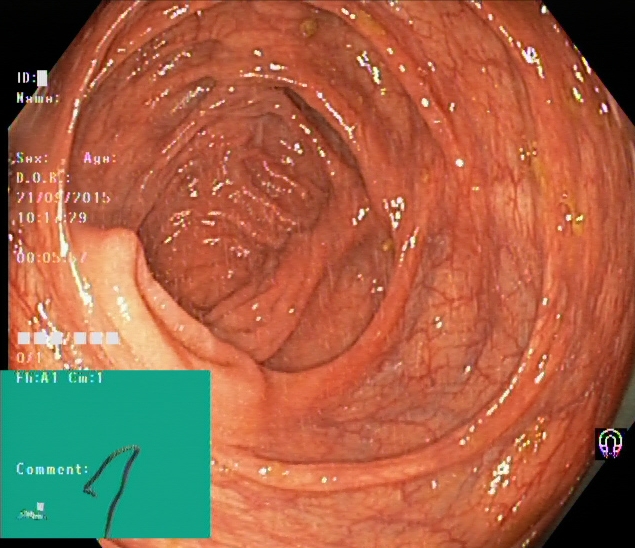cecum.